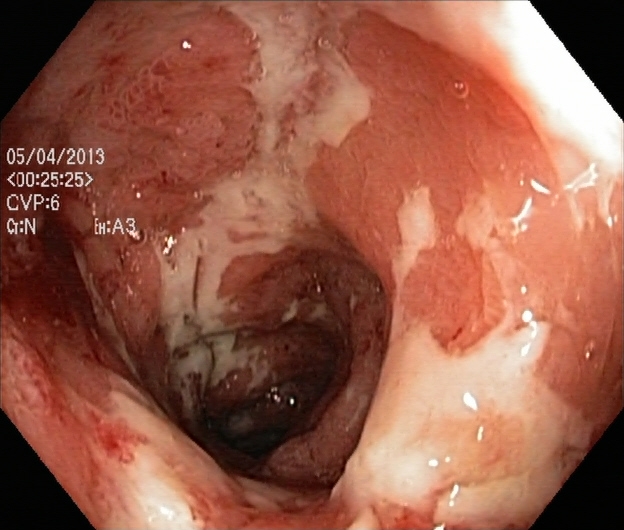Lower-GI endoscopy image of the lower GI tract showing ulcerative colitis, Mayo endoscopic subscore 3.